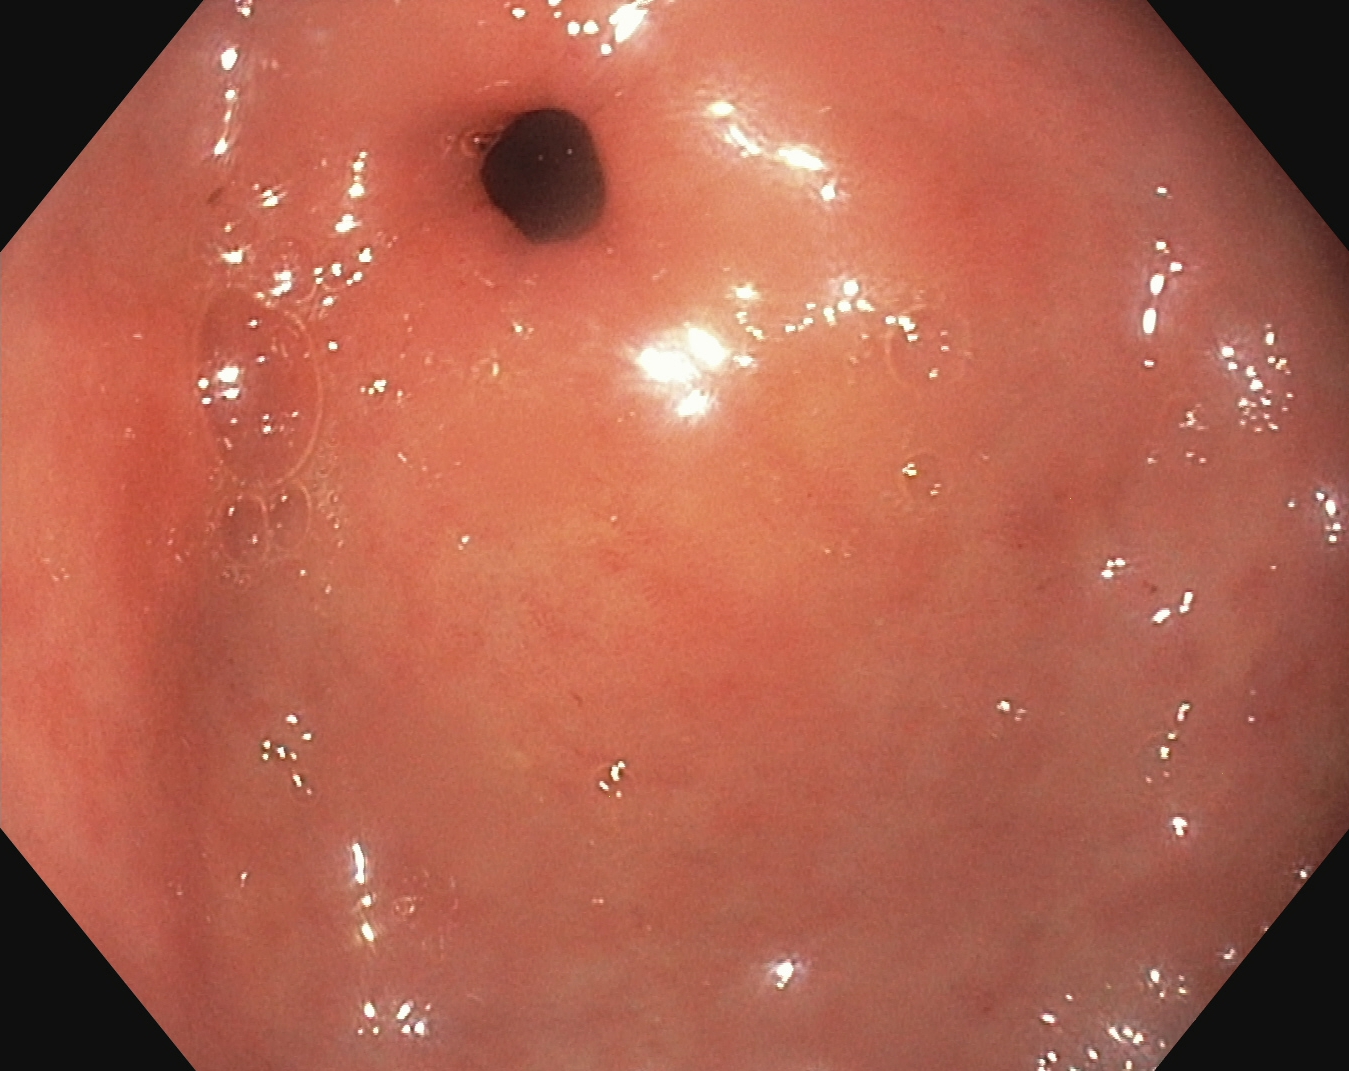Pylorus.